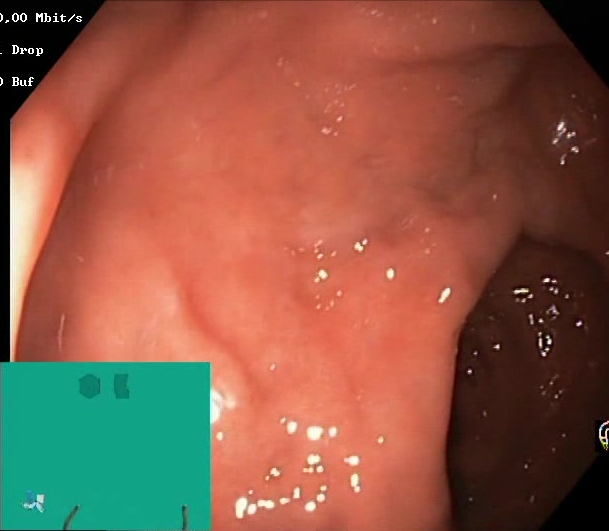PROCEDURE: Colonoscopy.
CATEGORY: Mucosal-view quality.
FINDINGS: Boston Bowel Preparation Scale score 2–3 (adequate preparation).